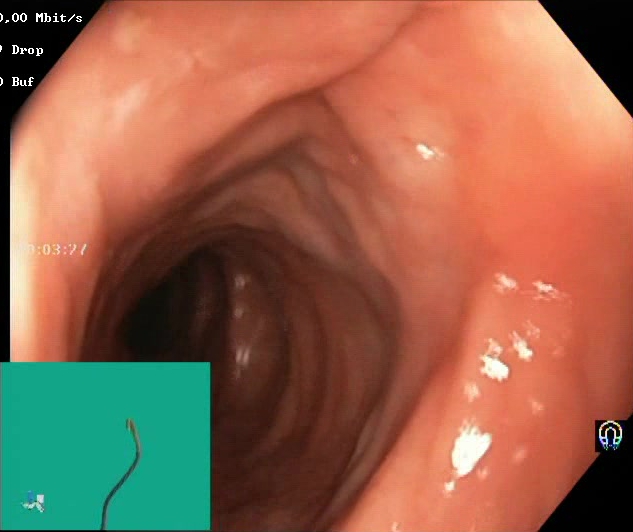PROCEDURE: Colonoscopy.
FINDINGS: BBPS score 2–3 (adequate preparation).